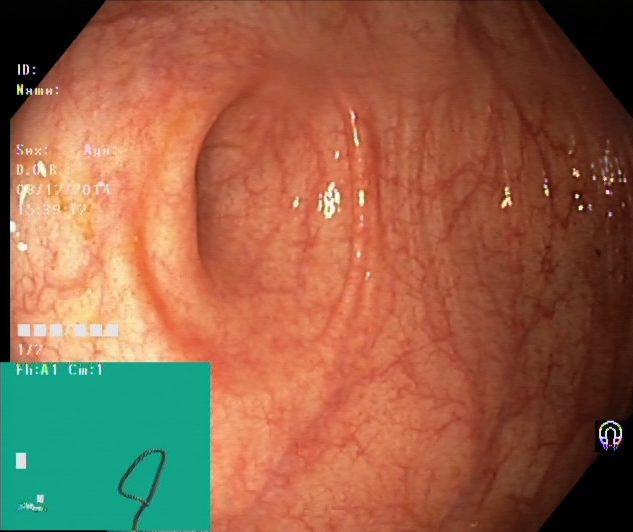Colonoscopy. Anatomical landmark. Finding: cecum.